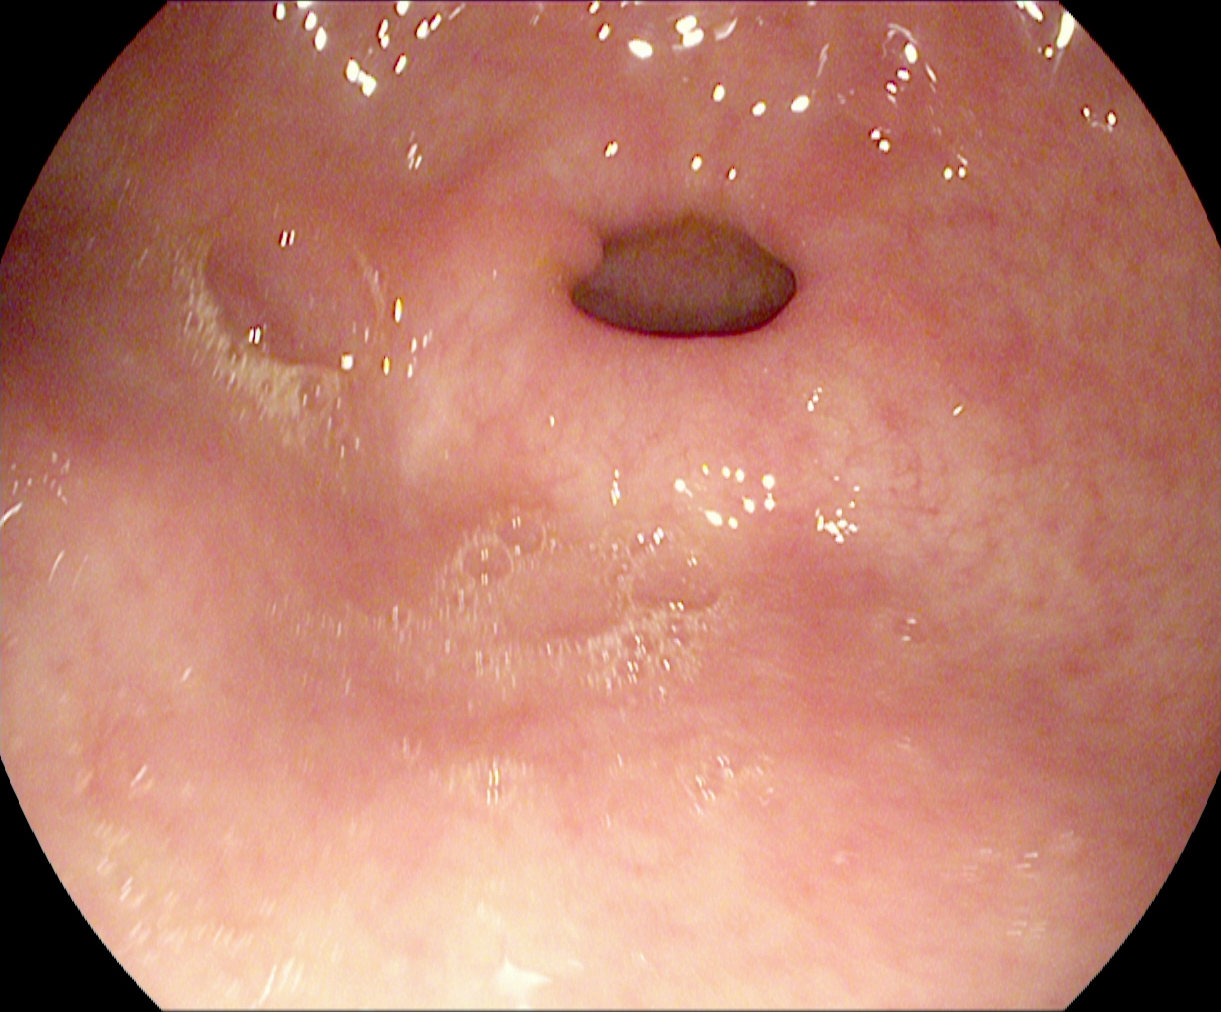Gastroscopy. Tract: upper GI tract. Anatomical landmark. Finding: pylorus.